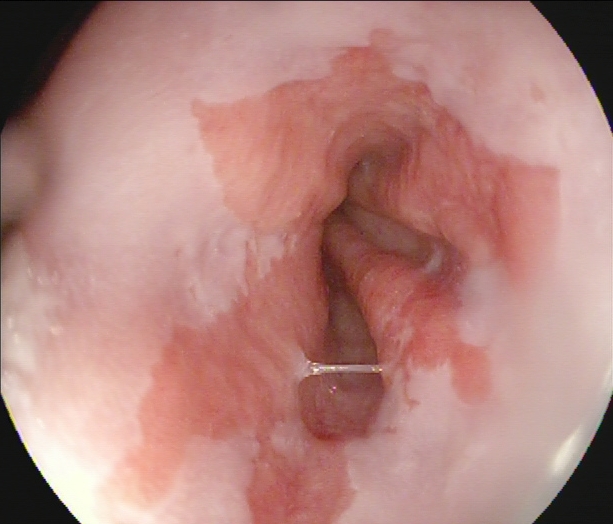modality: upper-GI endoscopy | tract: upper GI tract | category: pathological finding | finding: Barrett's esophagus